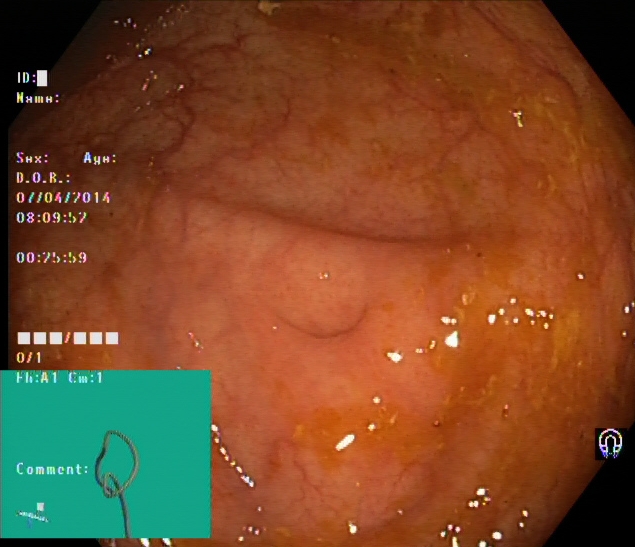This endoscopy frame of the lower GI tract shows cecum.